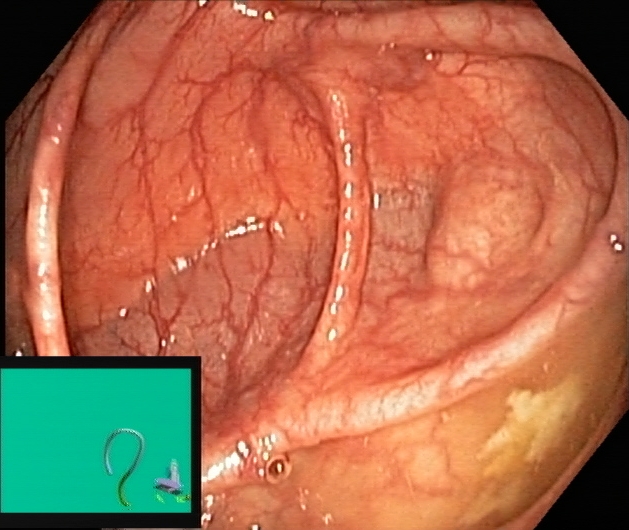modality: lower gastrointestinal endoscopy; tract: lower GI tract; finding: cecum